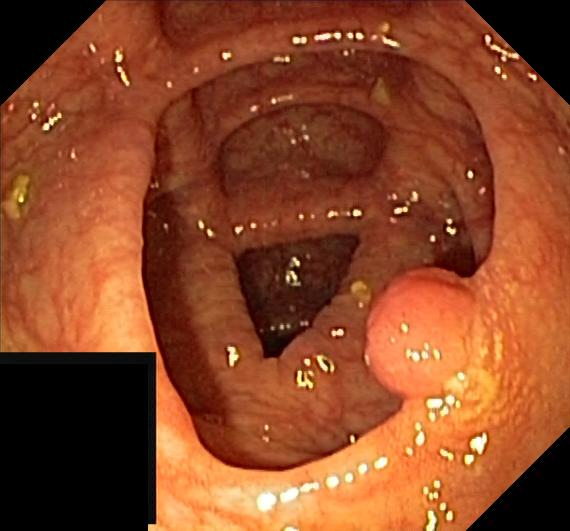Colonoscopy image showing colorectal polyp(s).